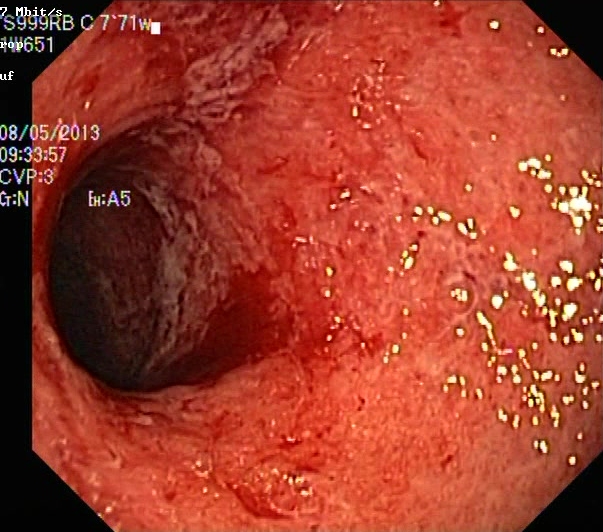modality: lower gastrointestinal endoscopy
tract: lower GI tract
finding: ulcerative colitis, Mayo endoscopic subscore 3